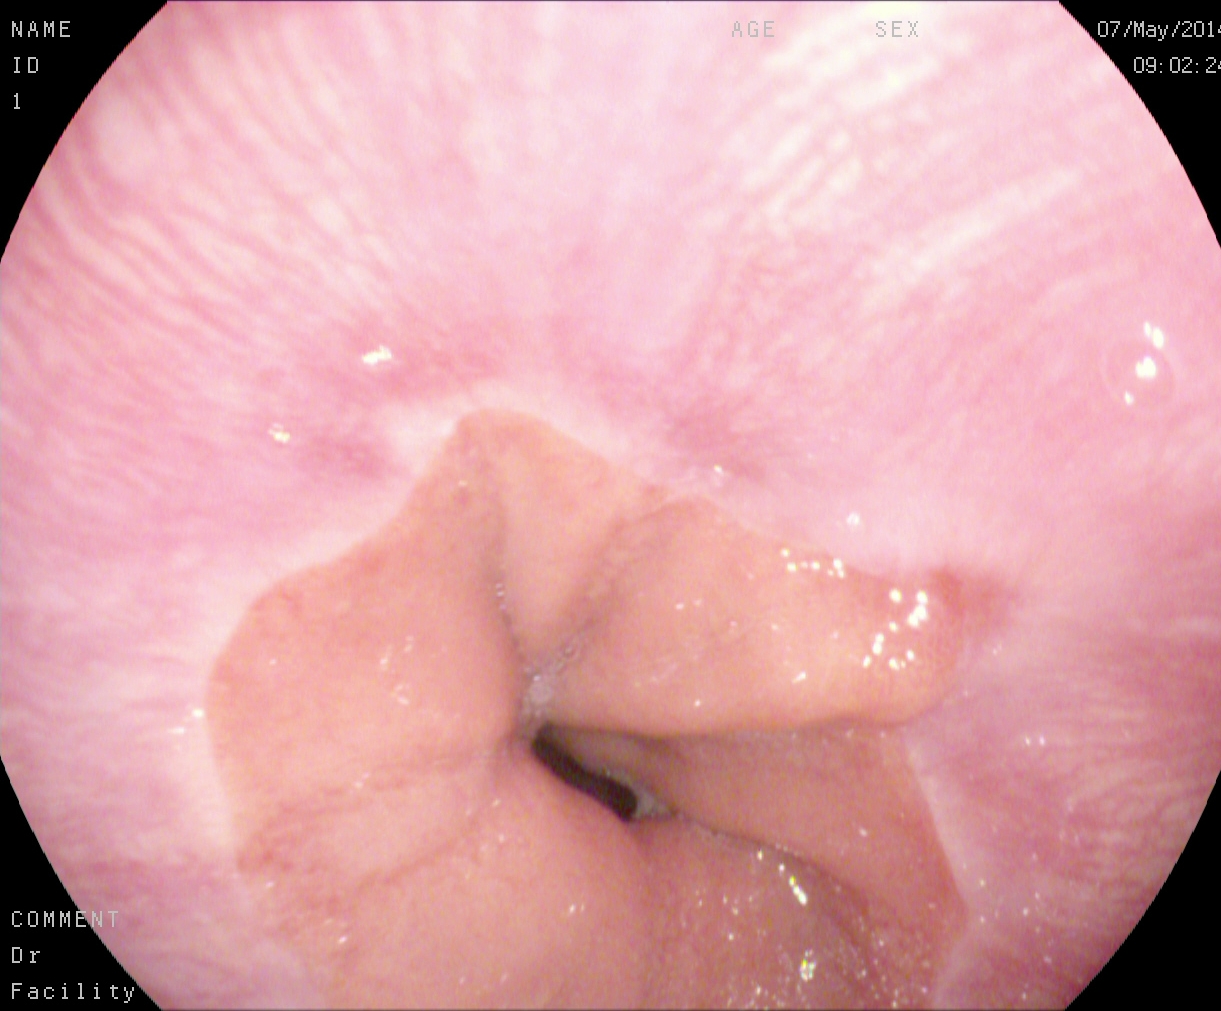{"modality": "gastroscopy", "tract": "upper GI tract", "category": "pathological finding", "finding": "reflux esophagitis, Los Angeles grade A"}